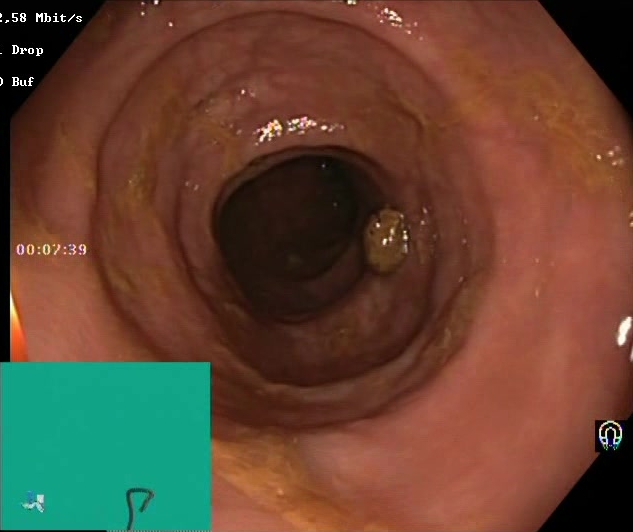Lower gastrointestinal endoscopy — BBPS score 2–3 (adequate preparation).